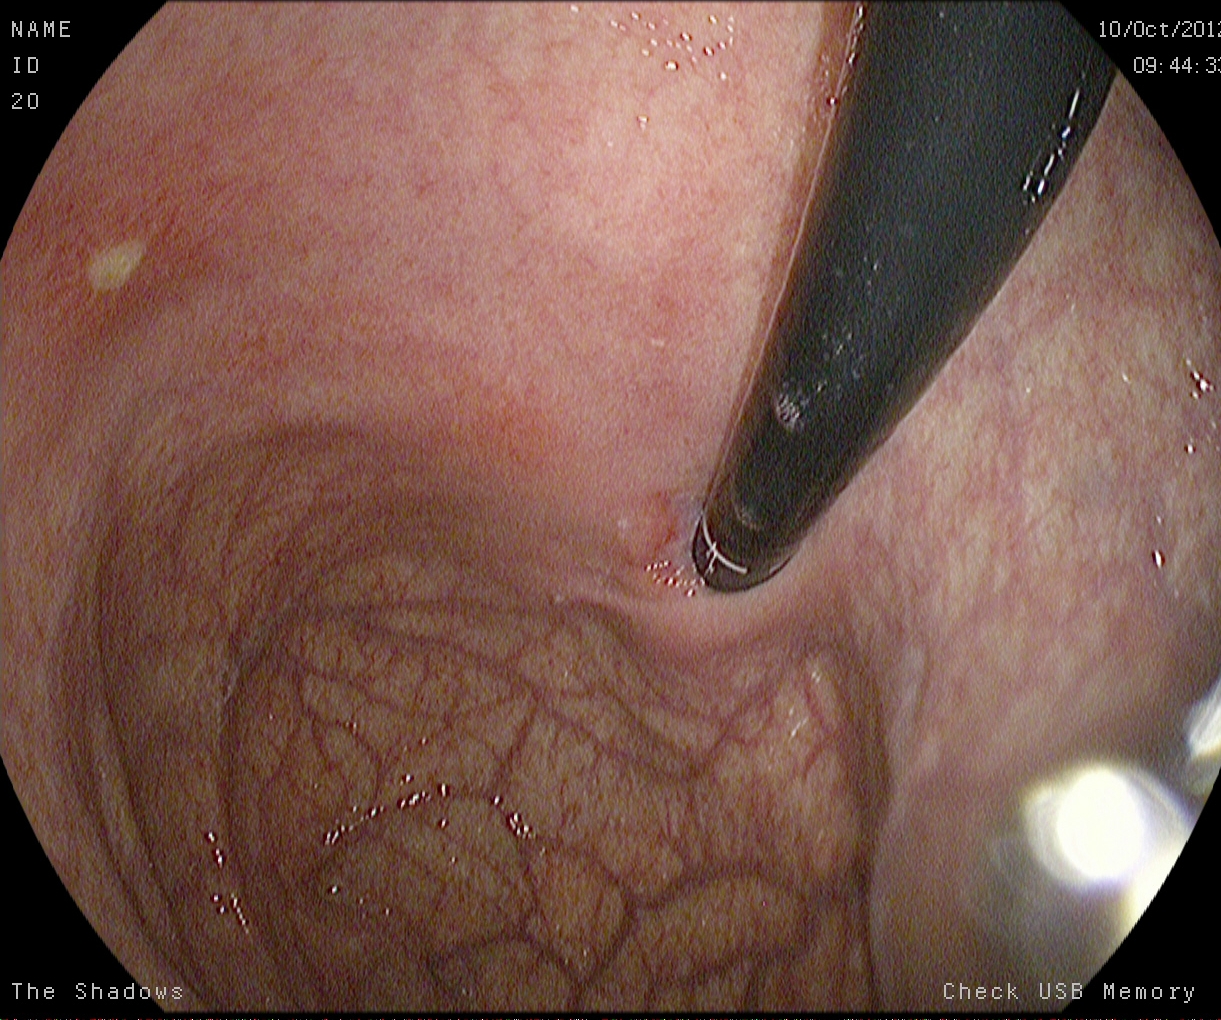This endoscopy frame of the upper GI tract shows stomach in retroflexion.